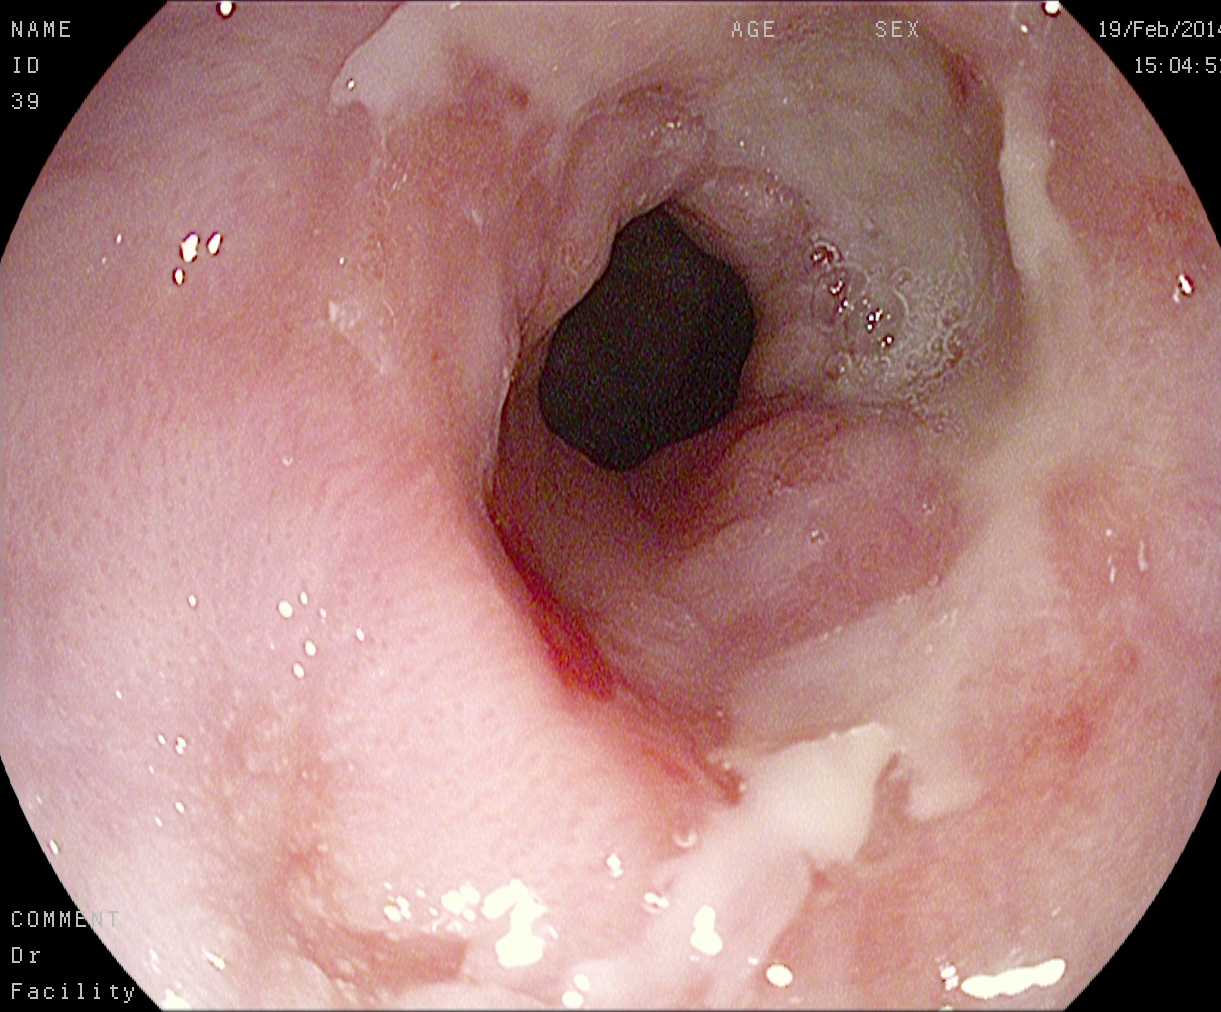{"modality": "EGD", "finding": "reflux esophagitis, Los Angeles grade B\u2013D"}